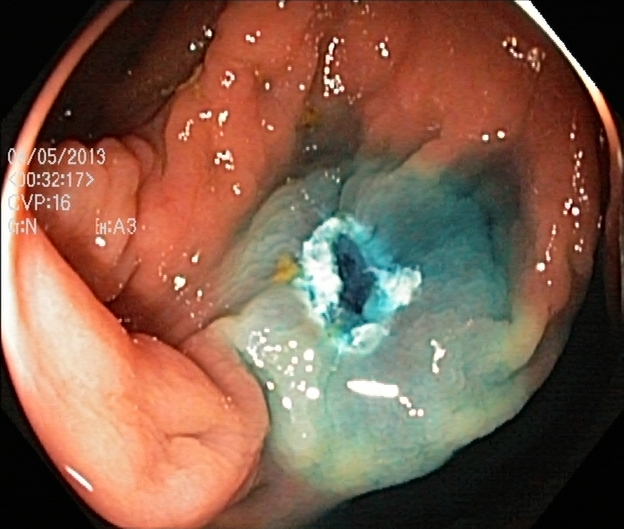PROCEDURE: Colonoscopy.
FINDINGS: Dyed resection margins (post-polypectomy).